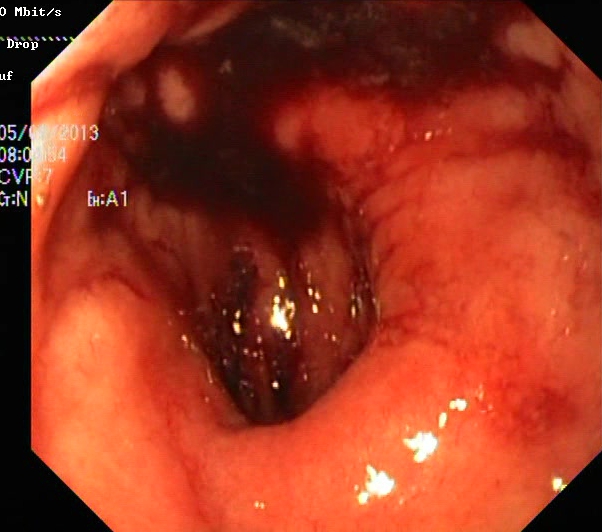This endoscopic image shows ulcerative colitis, Mayo endoscopic subscore 3.